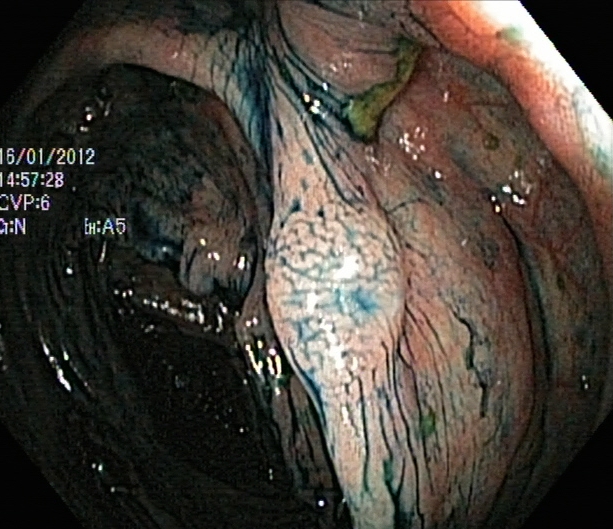modality: colonoscopy; tract: lower GI tract; category: therapeutic intervention; finding: dyed and lifted polyp (pre-resection)